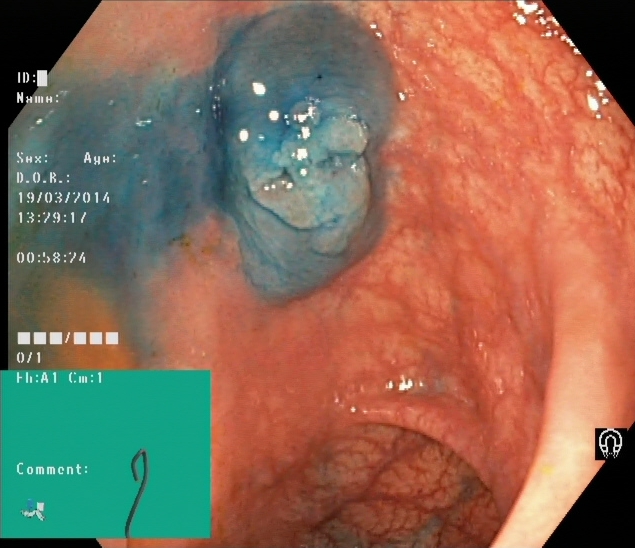PROCEDURE: Lower gastrointestinal endoscopy.
FINDINGS: Dyed and lifted polyp (pre-resection).